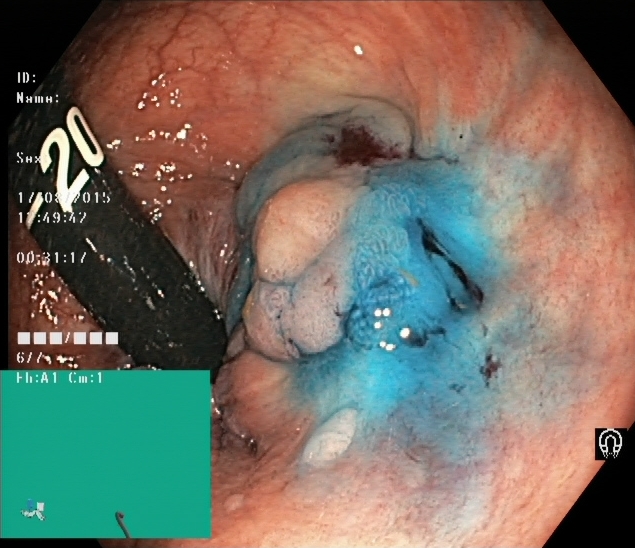This endoscopic image shows dyed and lifted polyp (pre-resection).